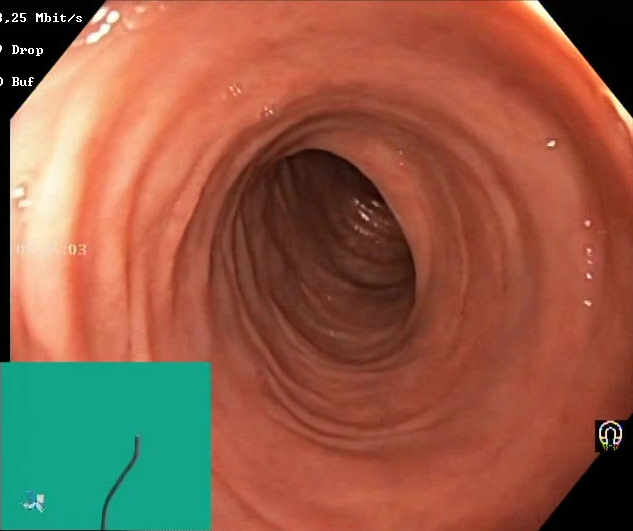Lower-GI endoscopy. Mucosal-view quality. Finding: BBPS score 2–3 (adequate preparation).